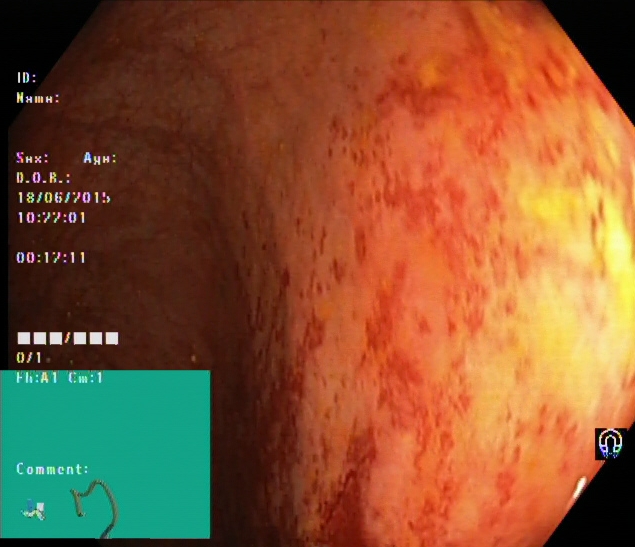This endoscopy frame shows ulcerative colitis, Mayo endoscopic subscore 1.